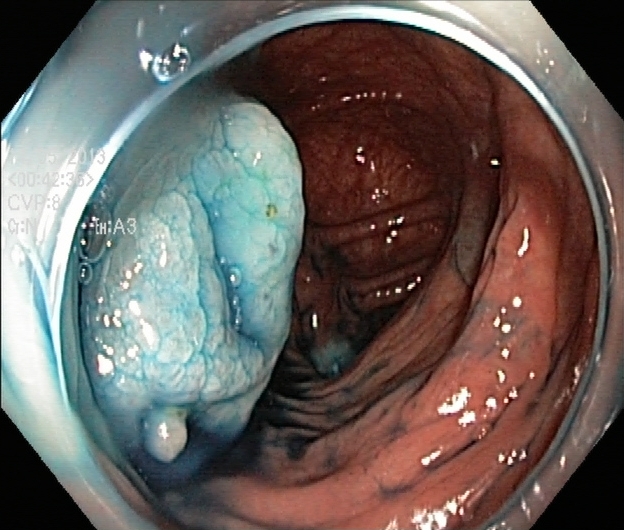PROCEDURE: Colonoscopy.
CATEGORY: Therapeutic intervention.
FINDINGS: Dyed and lifted polyp (pre-resection).